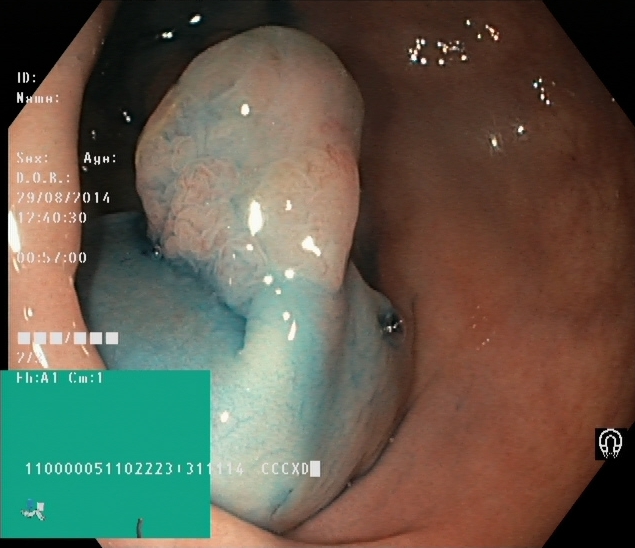PROCEDURE: Lower gastrointestinal endoscopy.
CATEGORY: Therapeutic intervention.
FINDINGS: Dyed and lifted polyp (pre-resection).